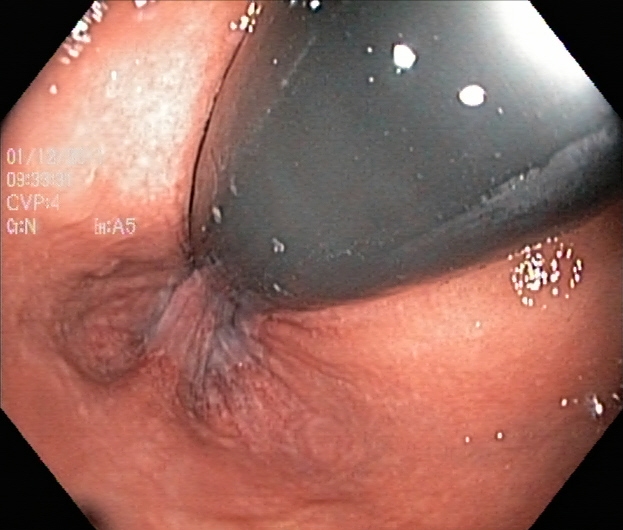Colonoscopy. Anatomical landmark. Finding: rectum in retroflexion.